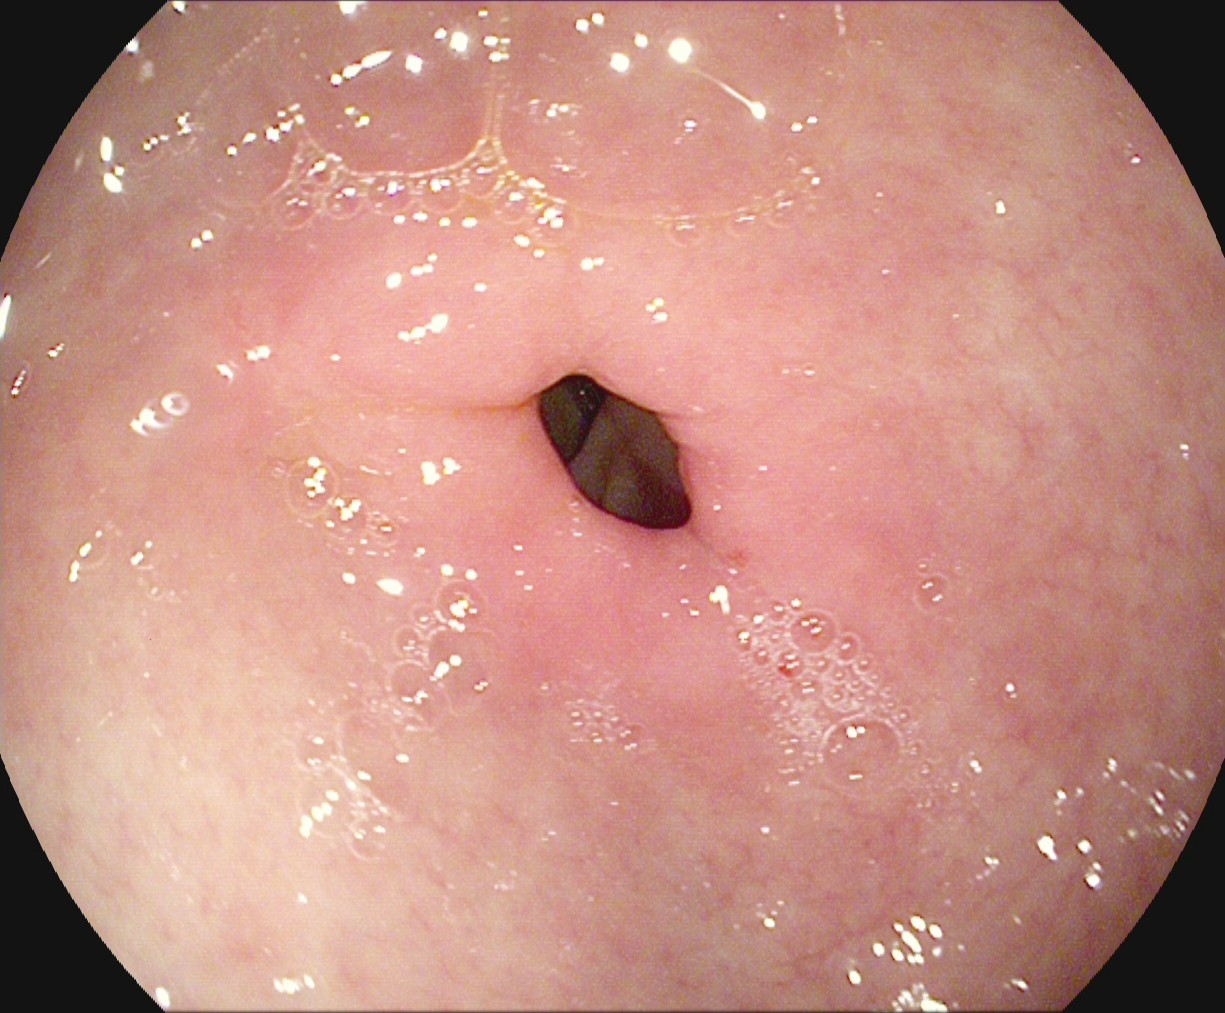Gastrointestinal endoscopy image showing pylorus.